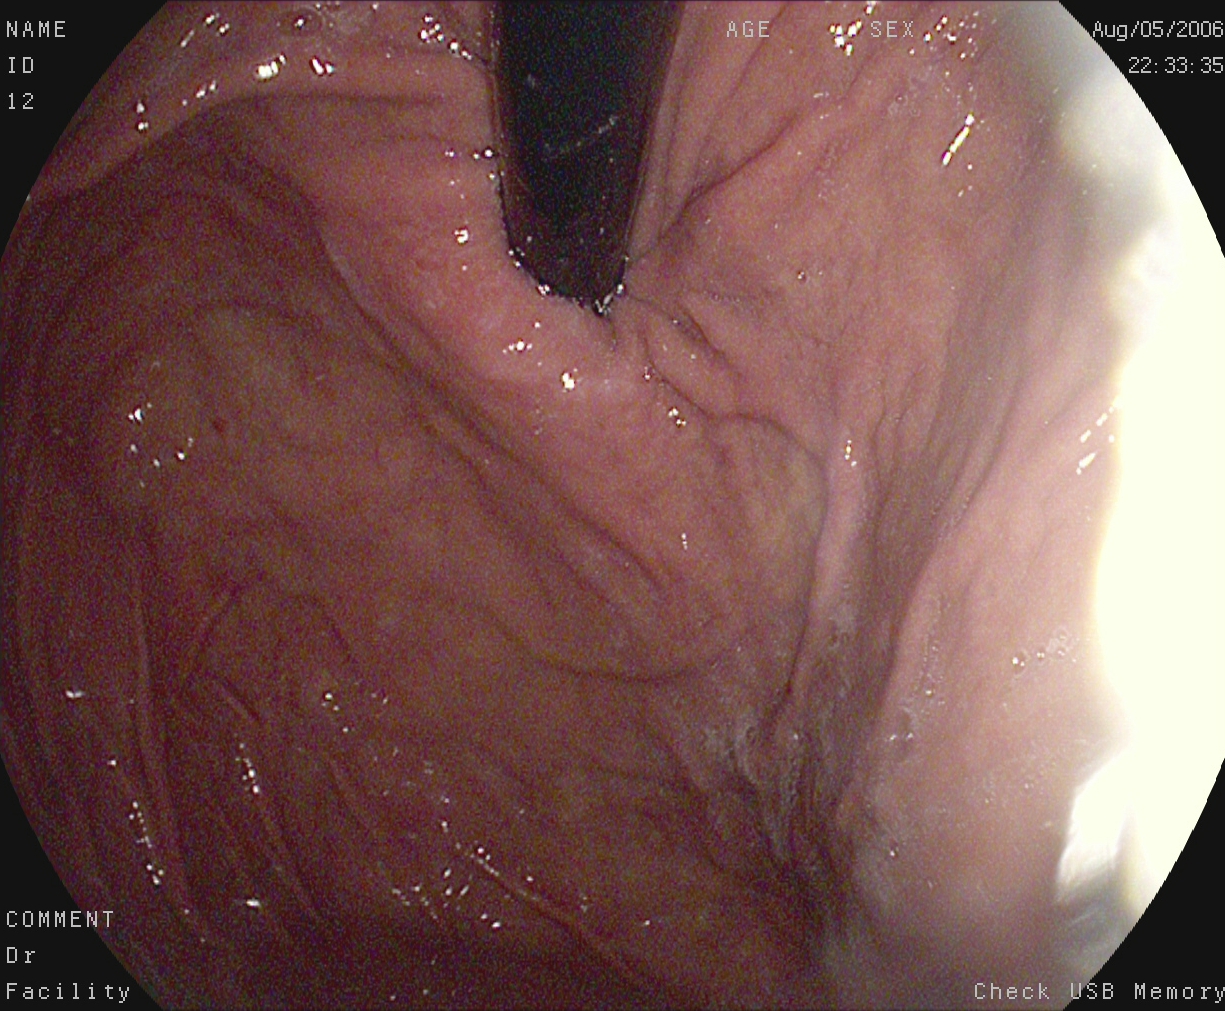Endoscopic frame showing stomach in retroflexion.